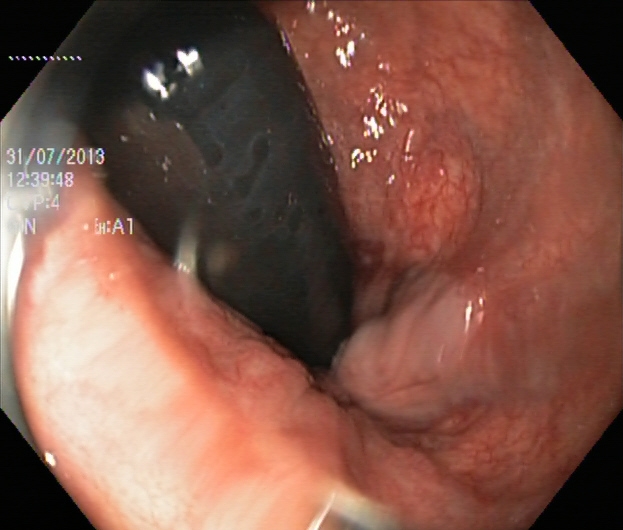Lower gastrointestinal endoscopy — rectum in retroflexion.